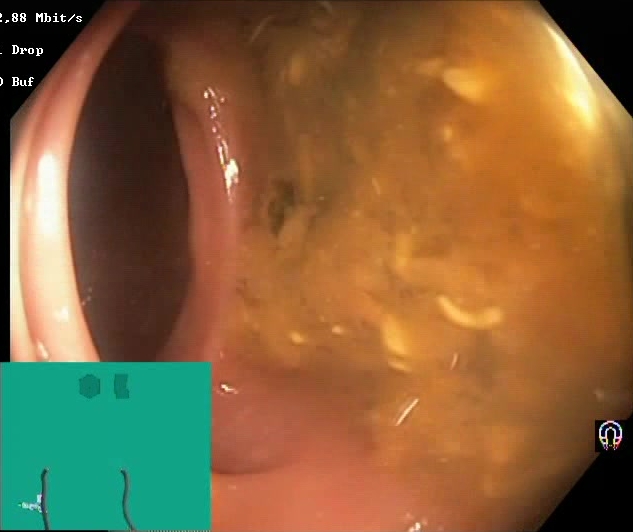This endoscopy frame shows Boston Bowel Preparation Scale score 0–1 (inadequate preparation).